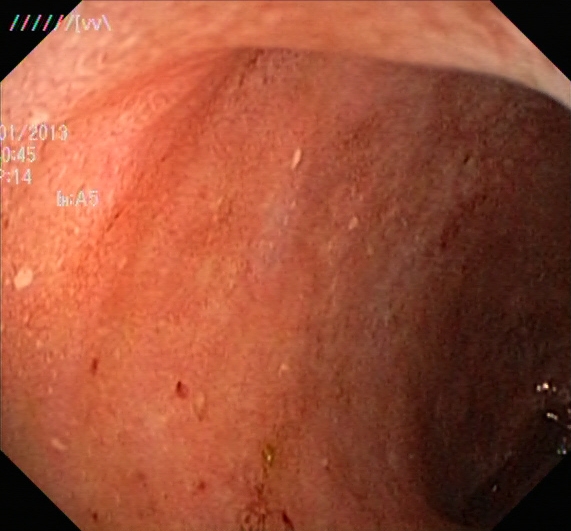GI endoscopy image of the lower GI tract showing ulcerative colitis, Mayo endoscopic subscore 2.